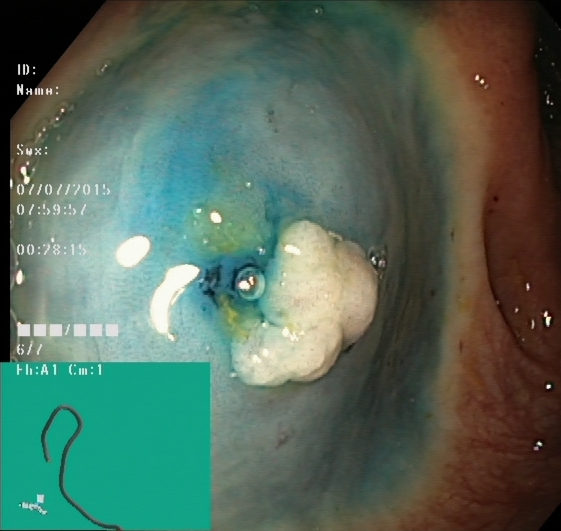PROCEDURE: Colonoscopy.
CATEGORY: Therapeutic intervention.
FINDINGS: Dyed and lifted polyp (pre-resection).